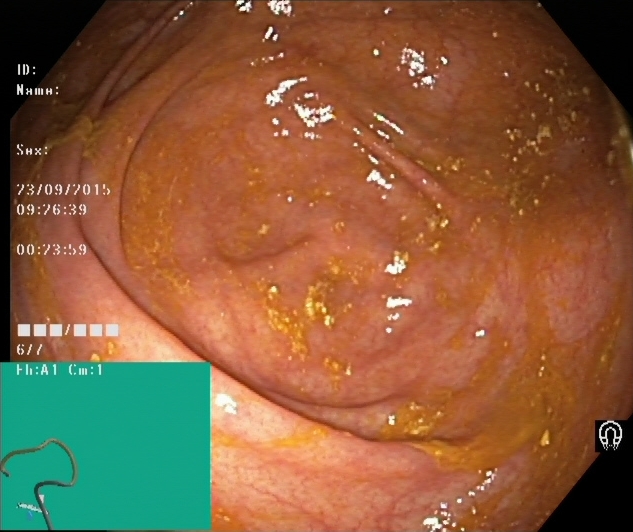Endoscopy image of the lower GI tract showing cecum.